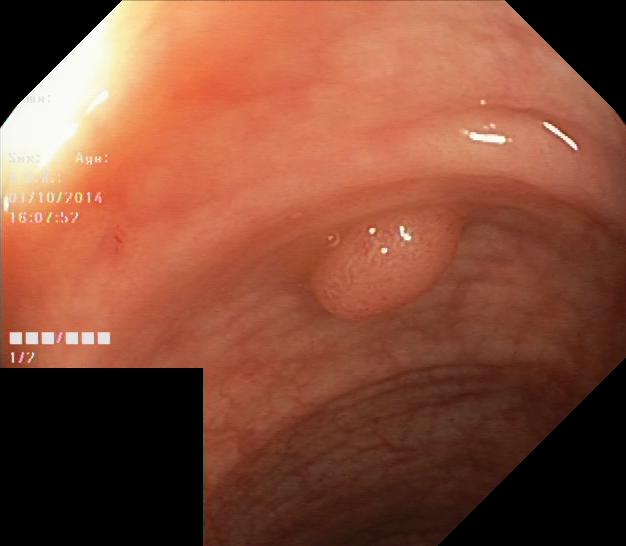{"modality": "colonoscopy", "tract": "lower GI tract", "finding": "colorectal polyp(s)"}